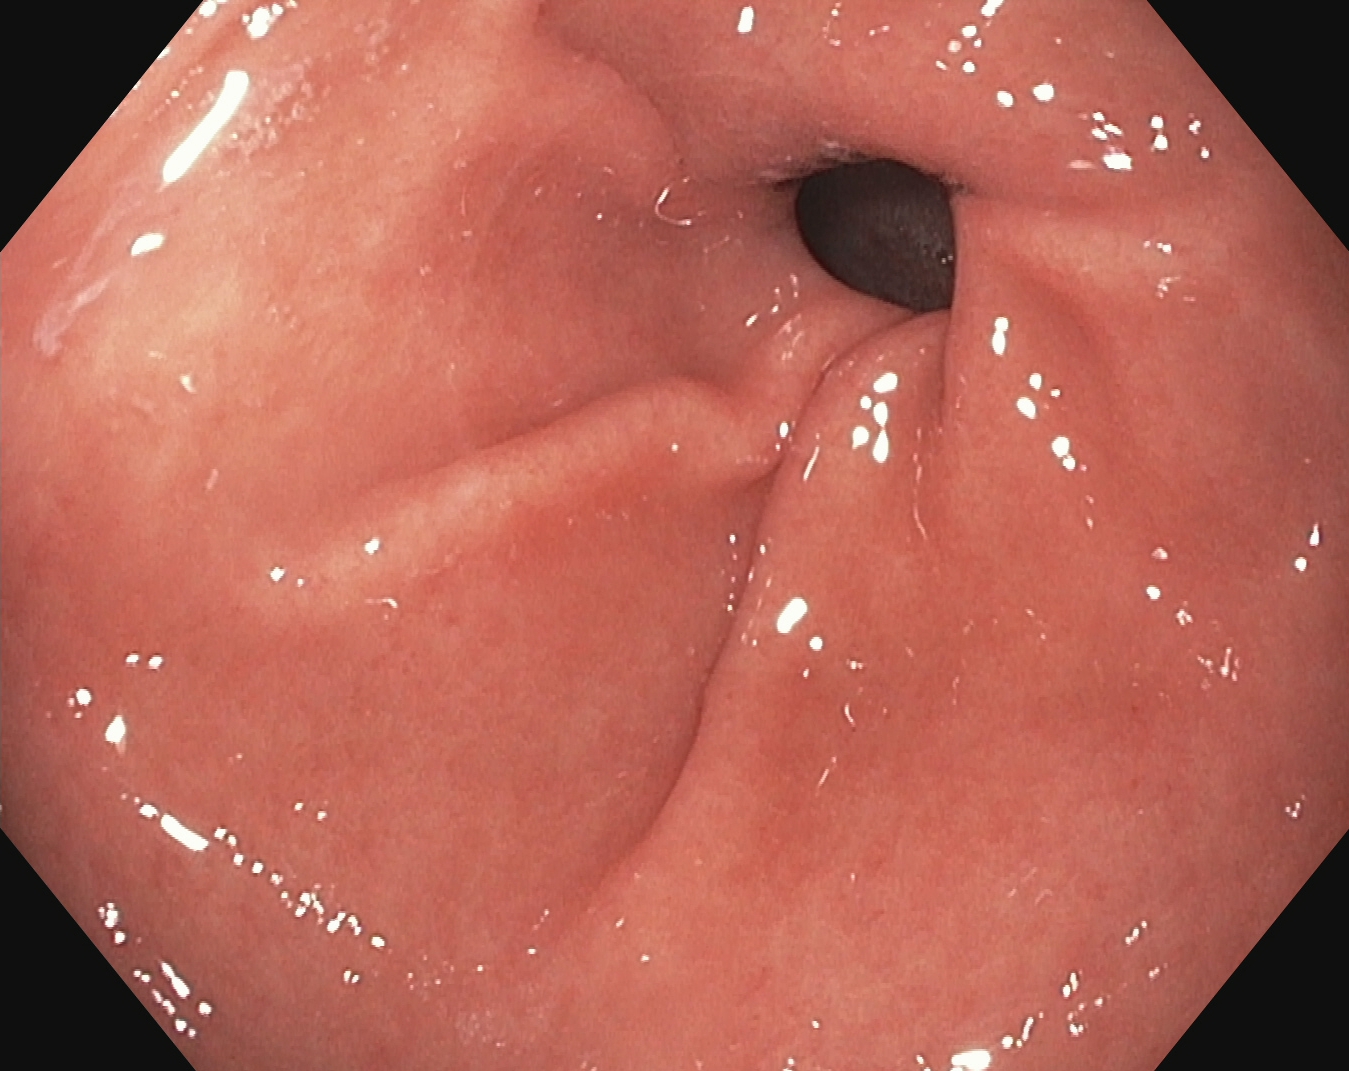This endoscopy frame of the upper GI tract shows pylorus.